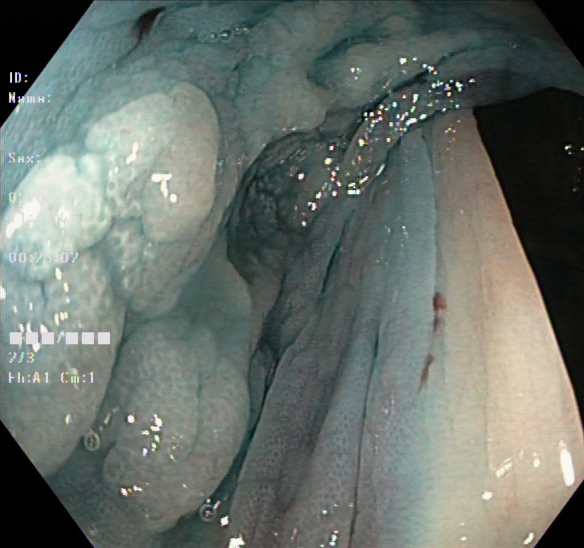This endoscopic image of the lower GI tract shows dyed and lifted polyp (pre-resection).